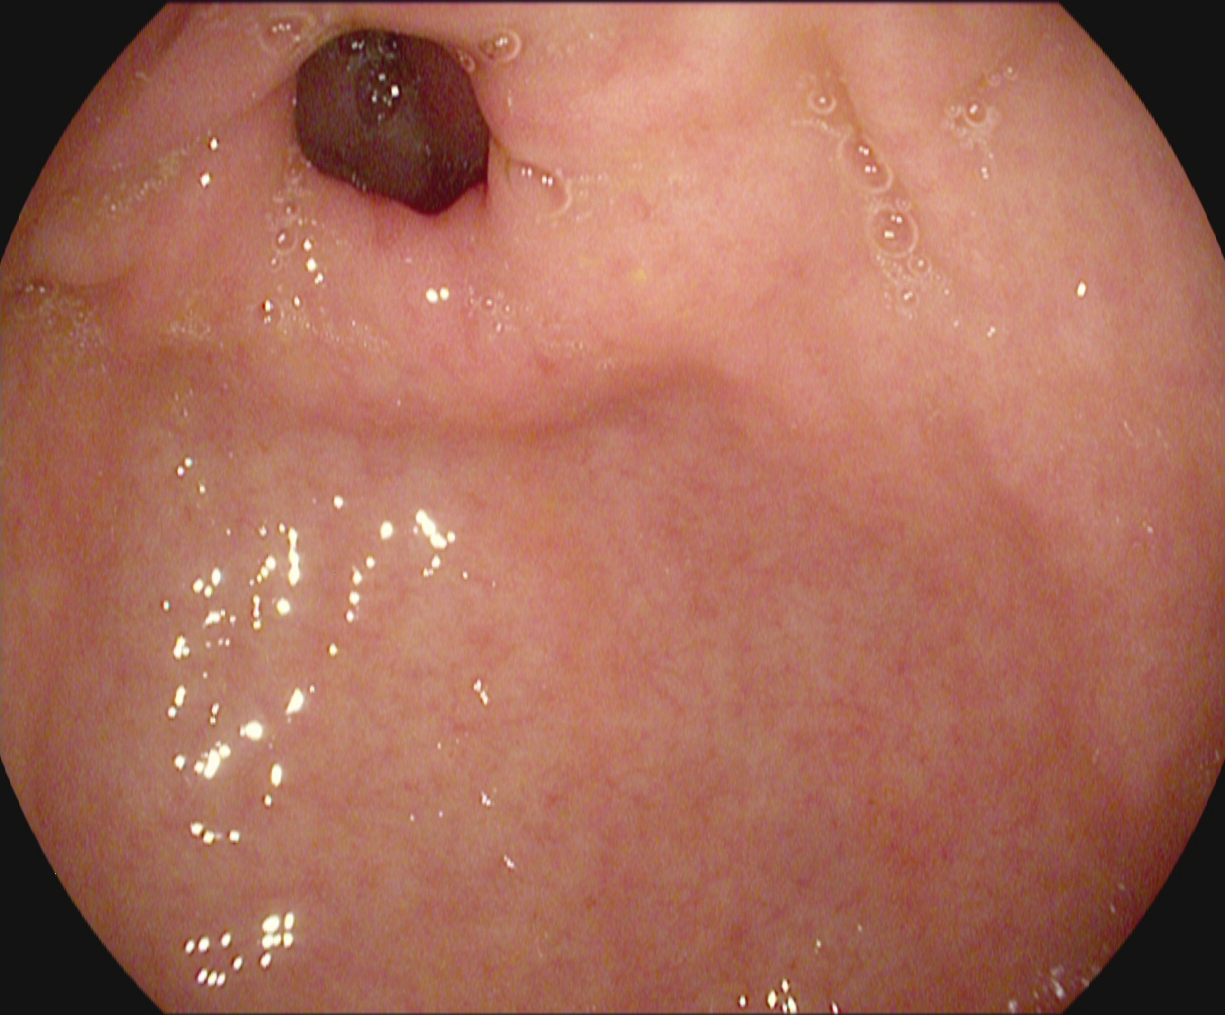modality: esophagogastroduodenoscopy | tract: upper GI tract | category: anatomical landmark | finding: pylorus